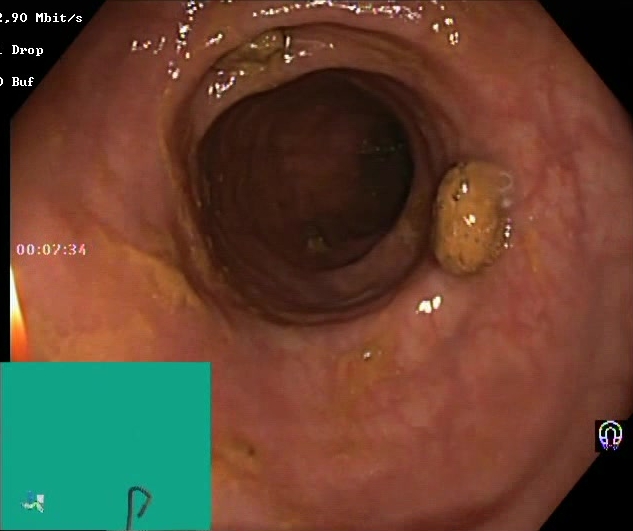This endoscopy frame of the lower GI tract shows impacted stool.